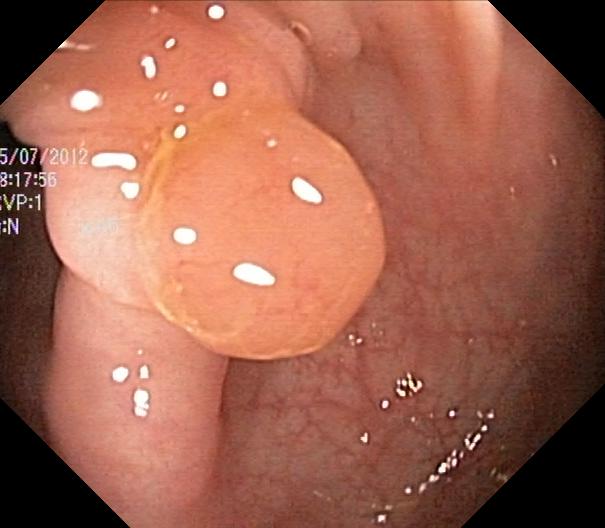Colorectal polyp(s).